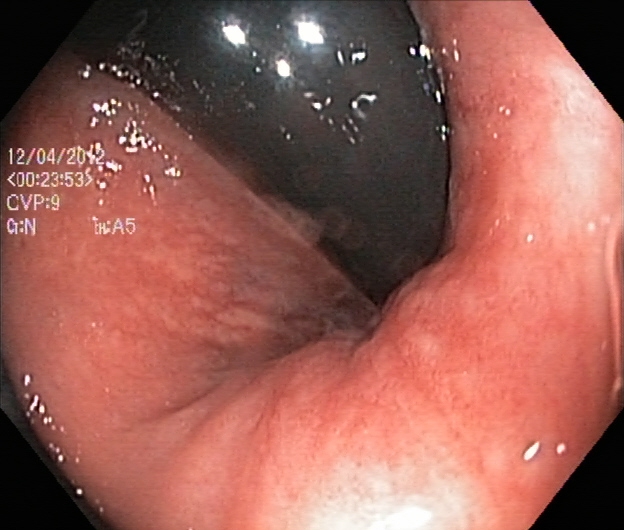rectum in retroflexion.